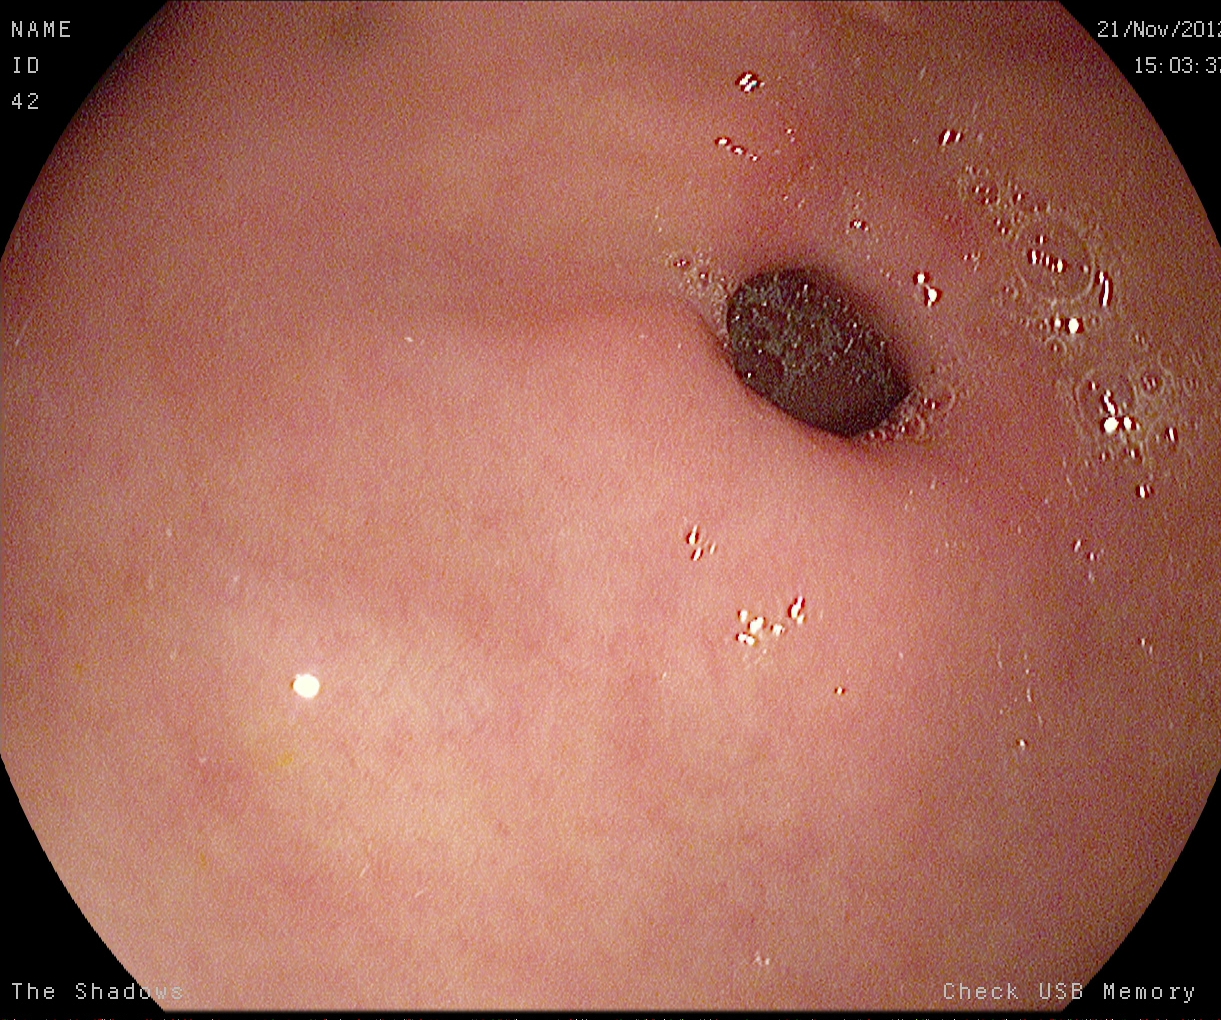modality: upper-GI endoscopy; tract: upper GI tract; category: anatomical landmark; finding: pylorus